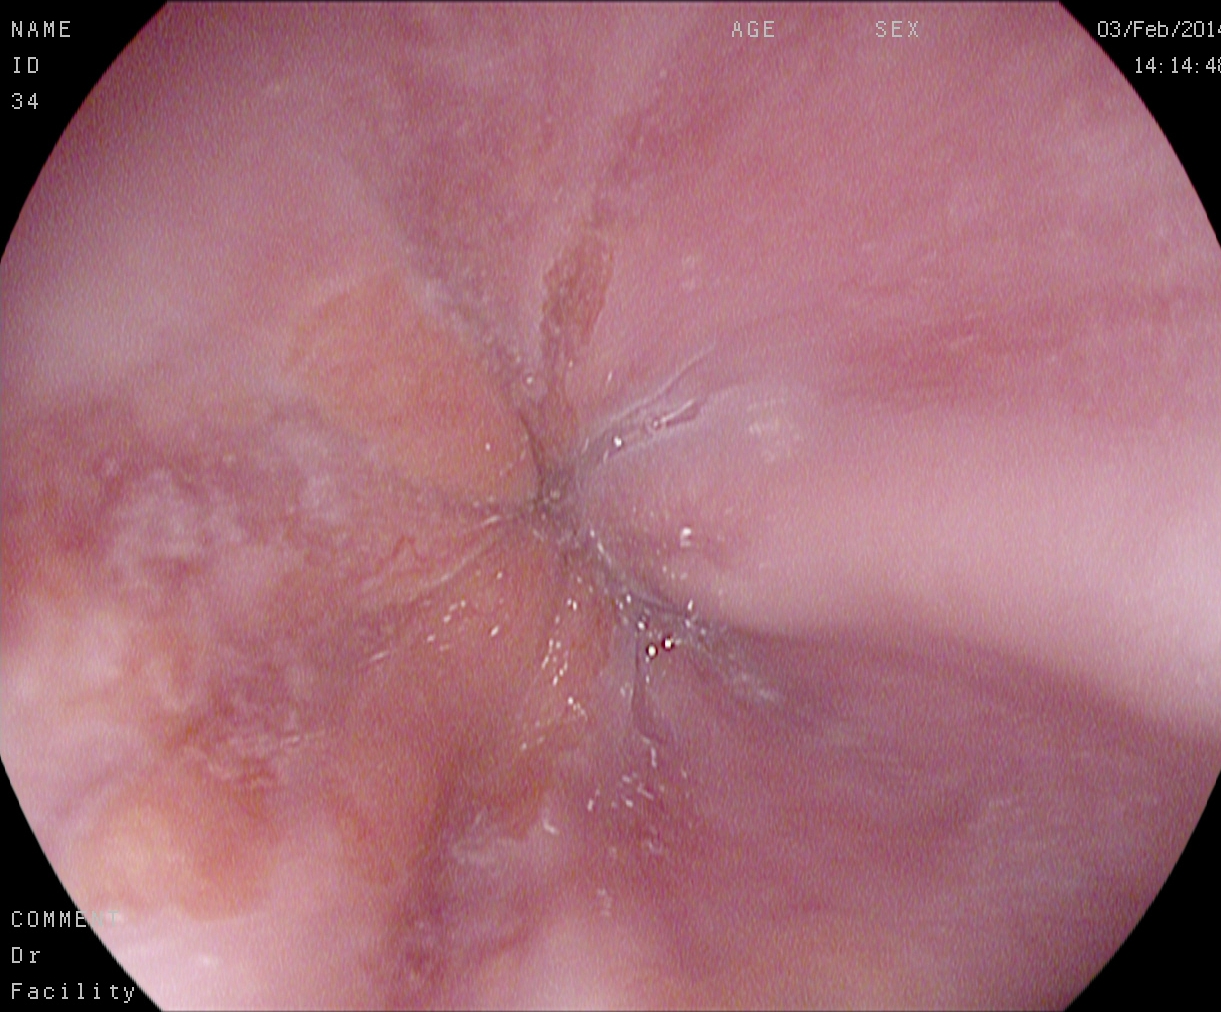PROCEDURE: EGD.
FINDINGS: Z-line (gastroesophageal junction).